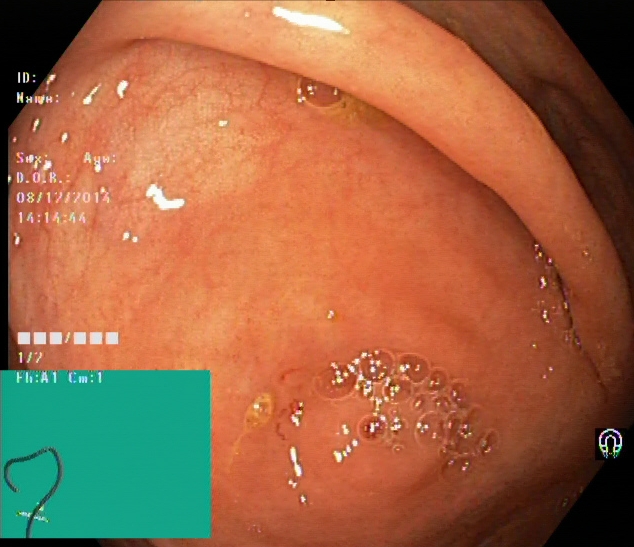Lower-GI endoscopy. Finding: cecum.